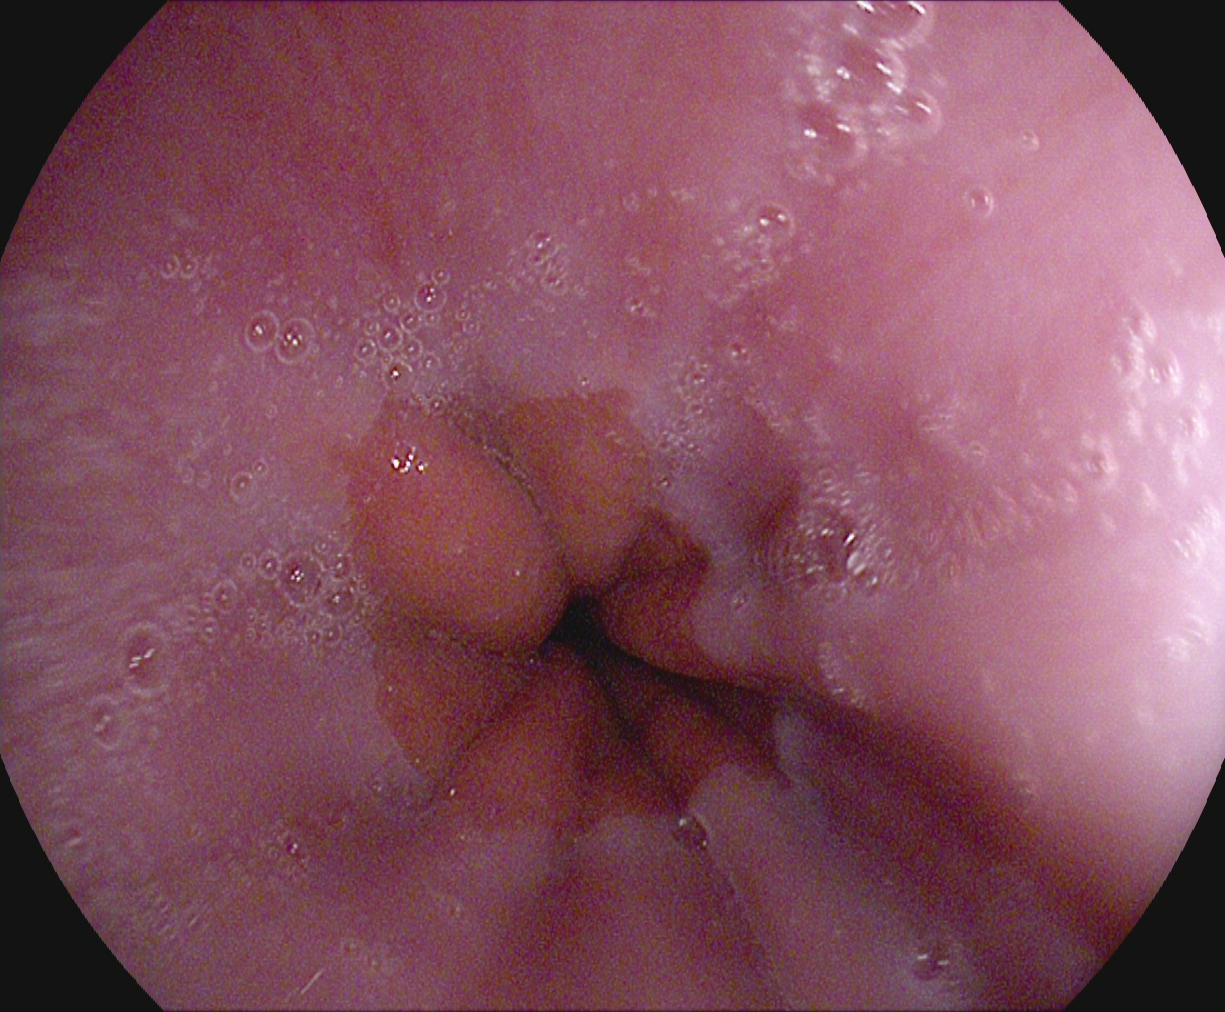EGD. Tract: upper GI tract. Anatomical landmark. Finding: Z-line (gastroesophageal junction).